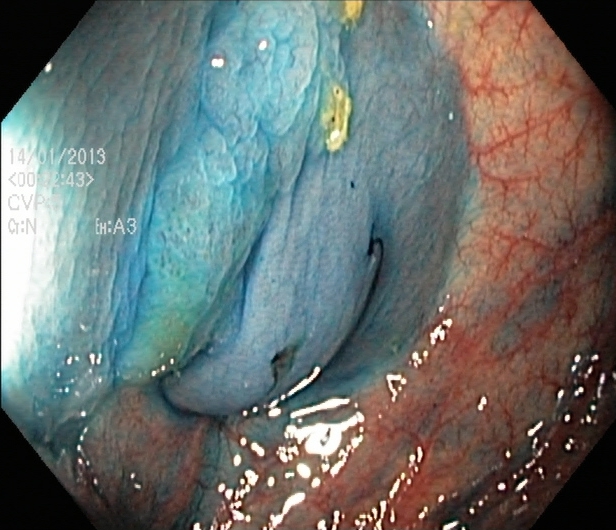modality: colonoscopy
category: therapeutic intervention
finding: dyed and lifted polyp (pre-resection)